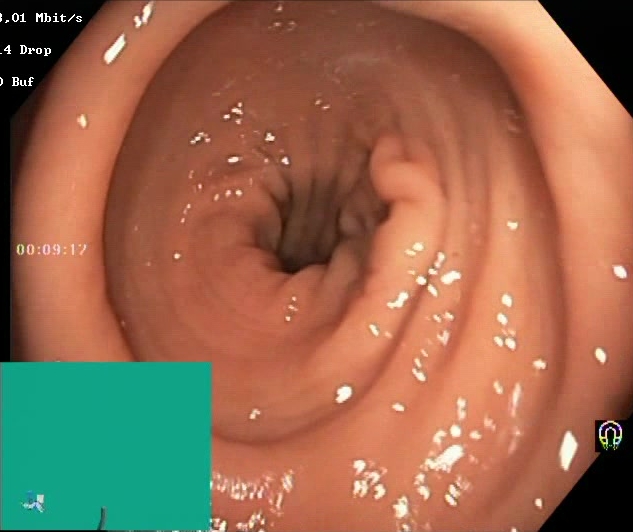Lower gastrointestinal endoscopy — Boston Bowel Preparation Scale score 2–3 (adequate preparation).